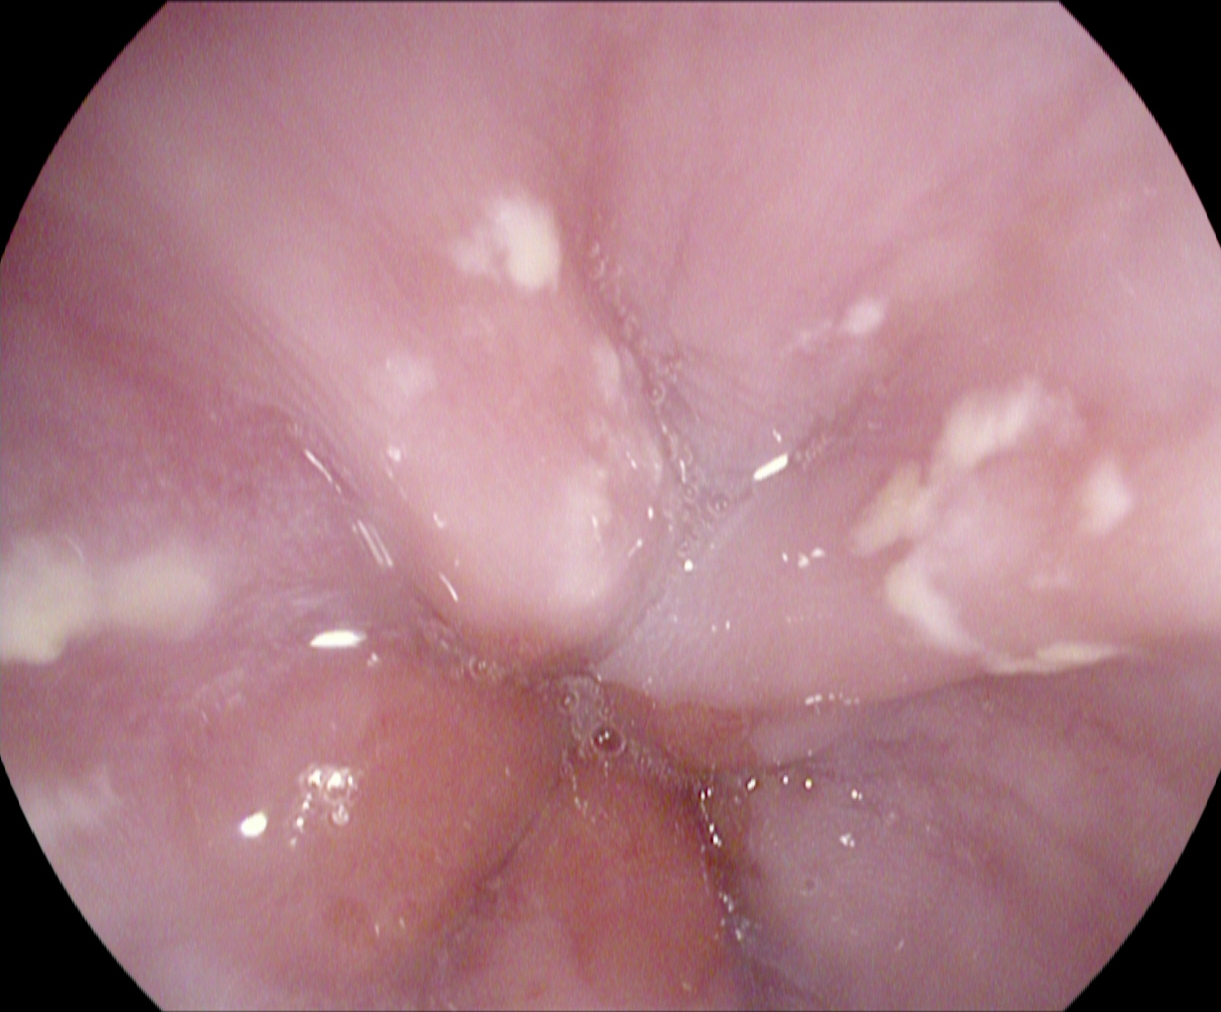Gastroscopy image of the upper GI tract showing Z-line (gastroesophageal junction).